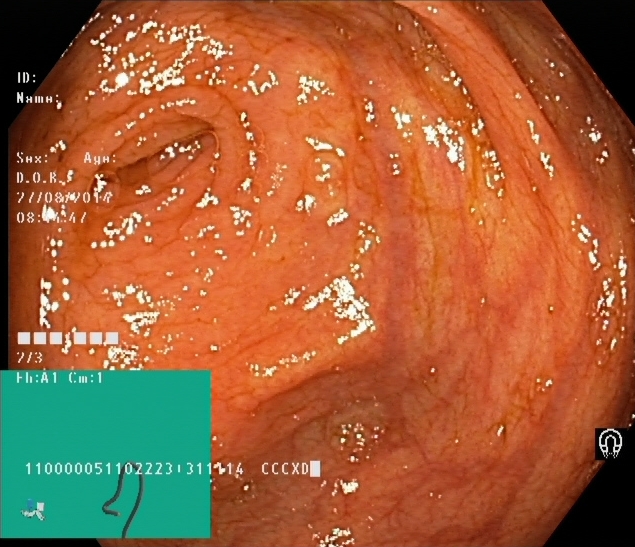{"modality": "colonoscopy", "category": "anatomical landmark", "finding": "cecum"}